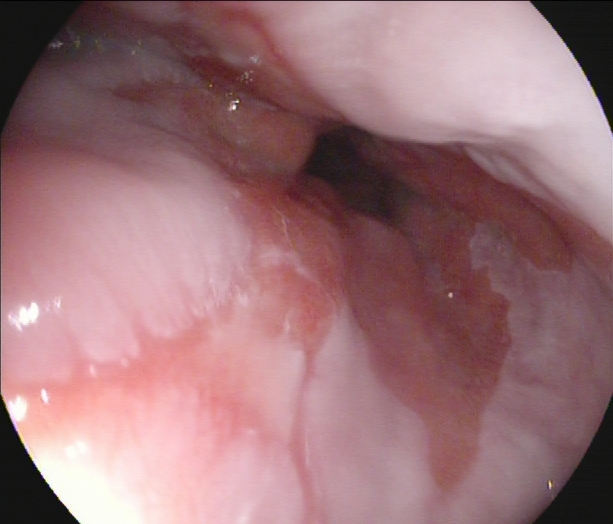This endoscopy frame shows reflux esophagitis, Los Angeles grade A.